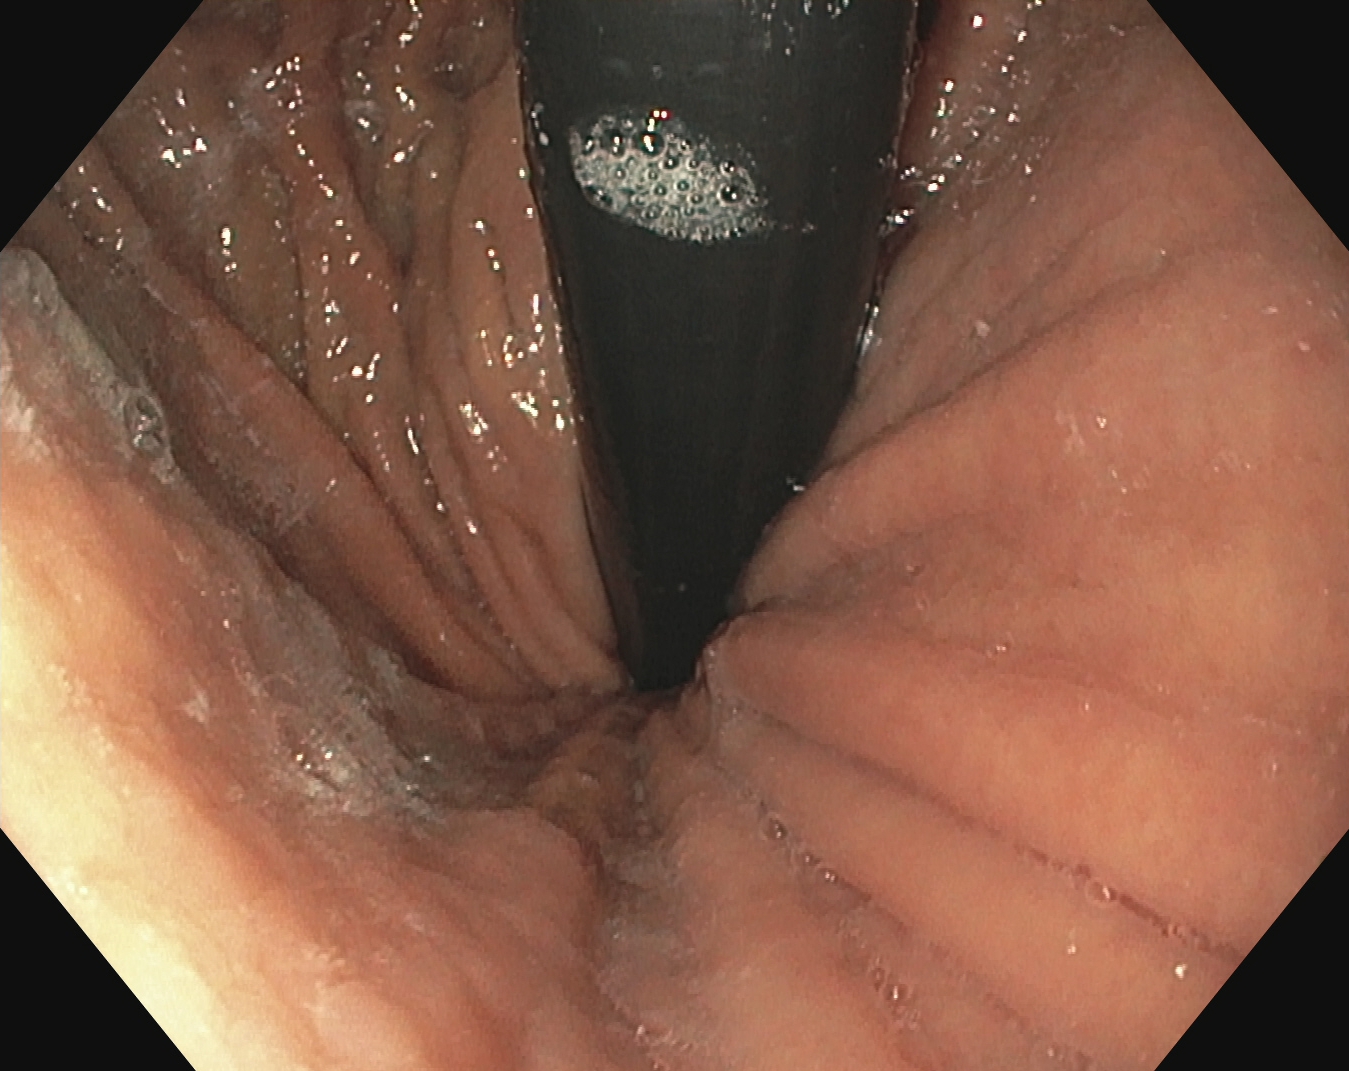Upper-GI endoscopy. Finding: stomach in retroflexion.